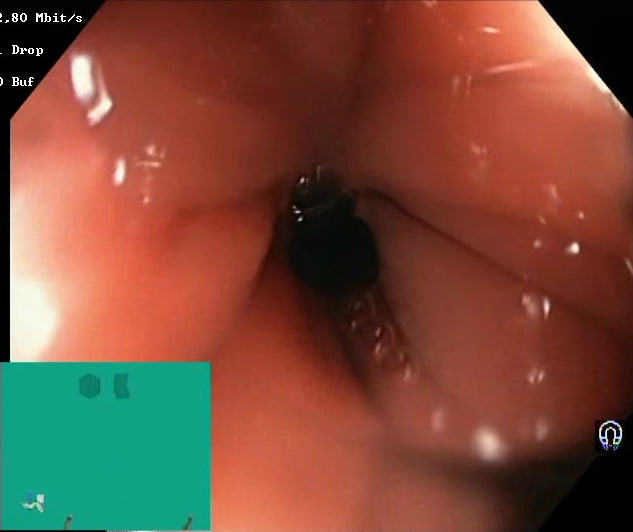GI endoscopy image of the lower GI tract showing Boston Bowel Preparation Scale score 2–3 (adequate preparation).